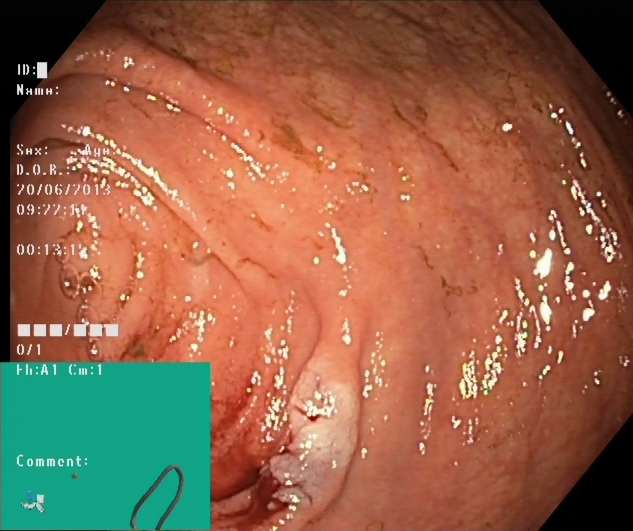This endoscopy frame of the lower GI tract shows cecum.